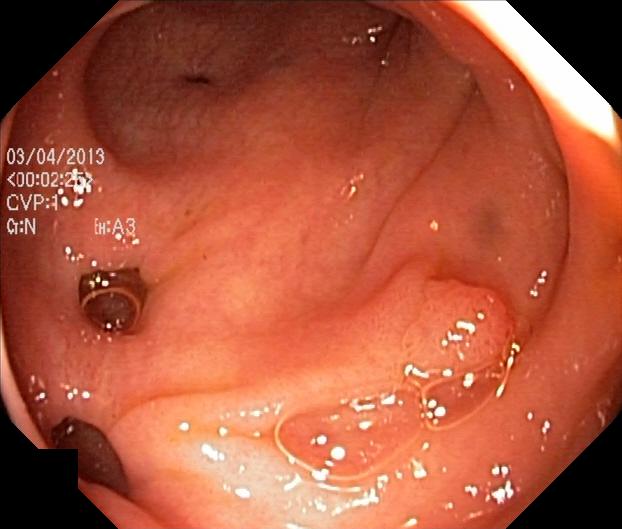Endoscopic frame showing colorectal polyp(s).